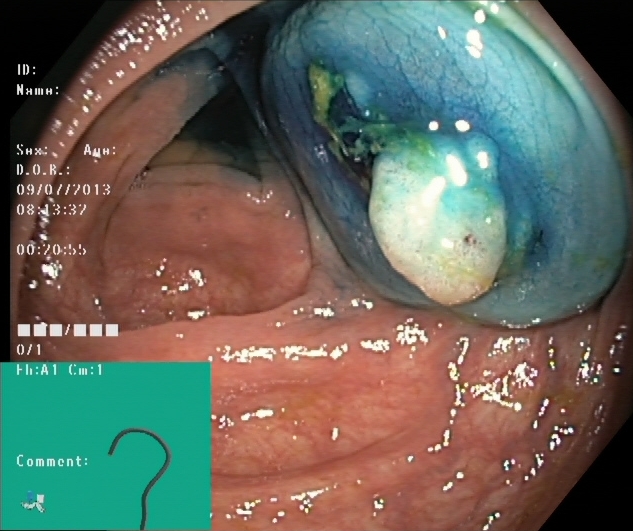{"modality": "lower-GI endoscopy", "finding": "dyed and lifted polyp (pre-resection)"}